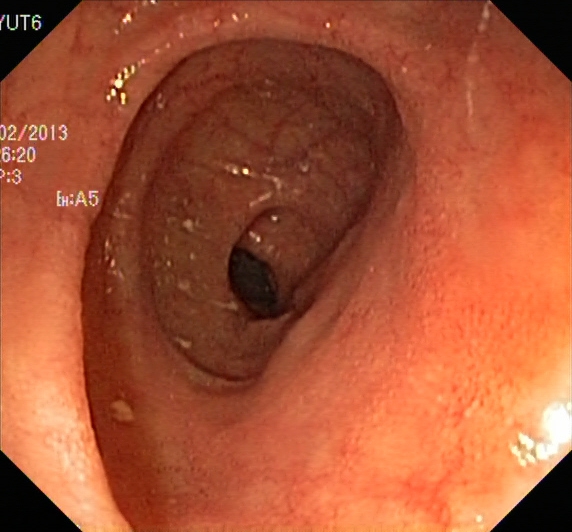This endoscopy frame of the lower GI tract shows ulcerative colitis, Mayo endoscopic subscore 1.